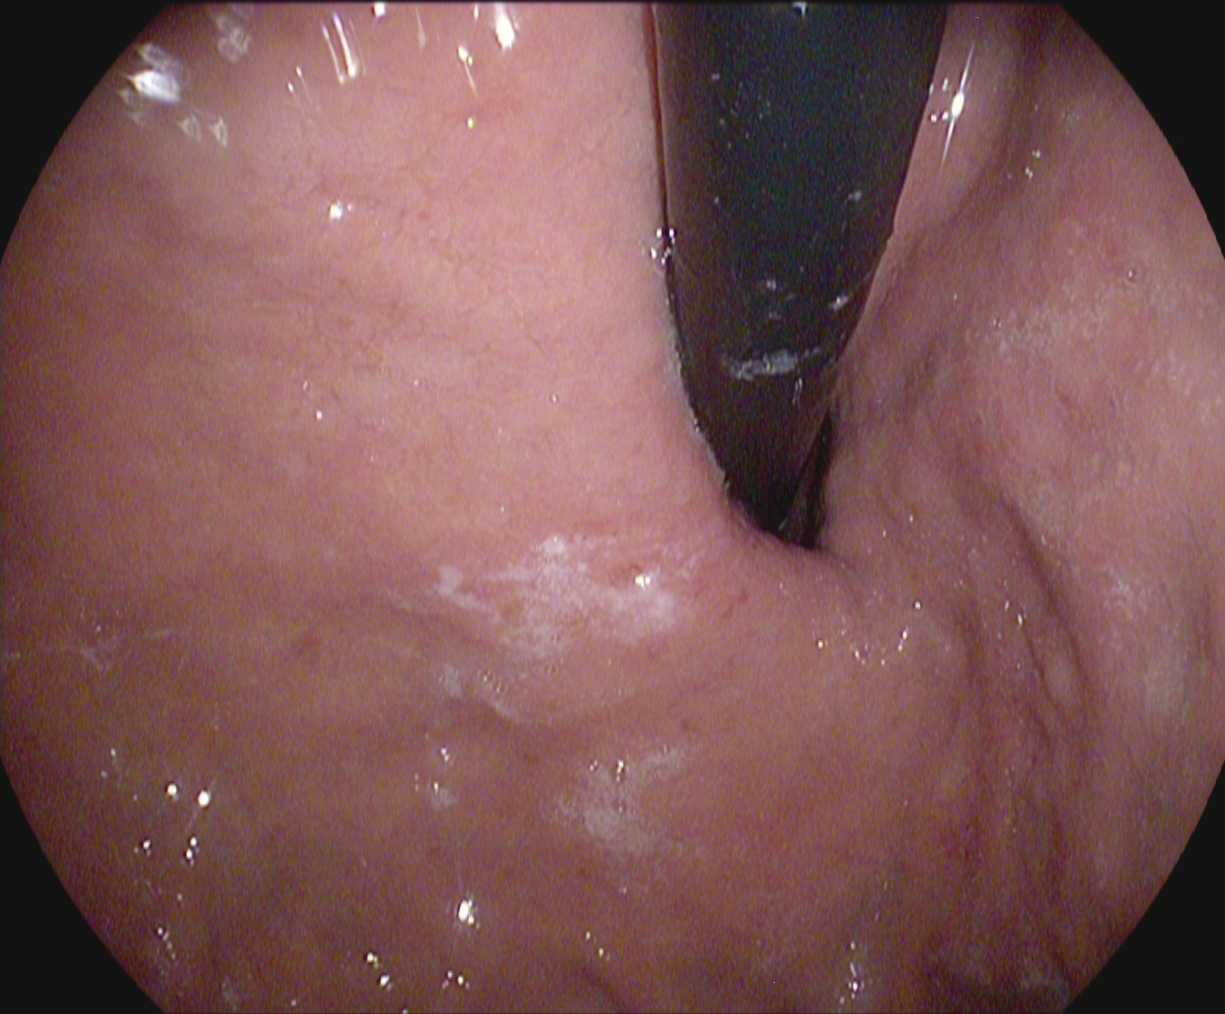stomach in retroflexion.